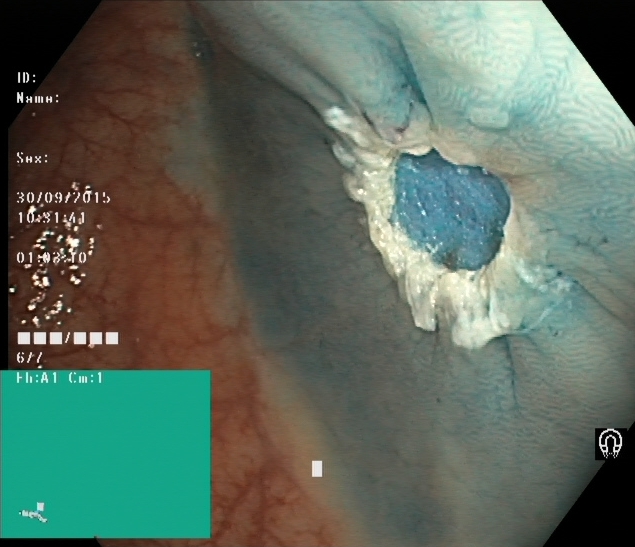Colonoscopy — dyed resection margins (post-polypectomy).